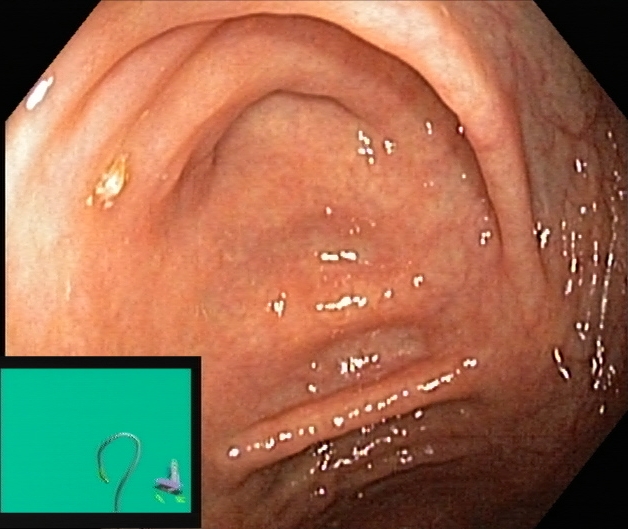modality: lower-GI endoscopy | tract: lower GI tract | category: anatomical landmark | finding: cecum